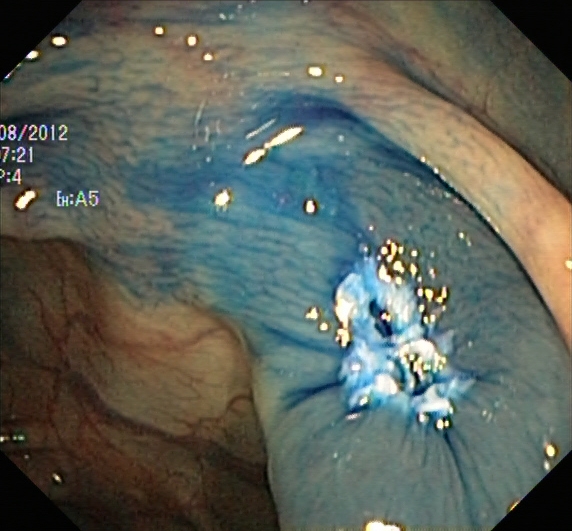PROCEDURE: Lower-GI endoscopy.
FINDINGS: Dyed resection margins (post-polypectomy).